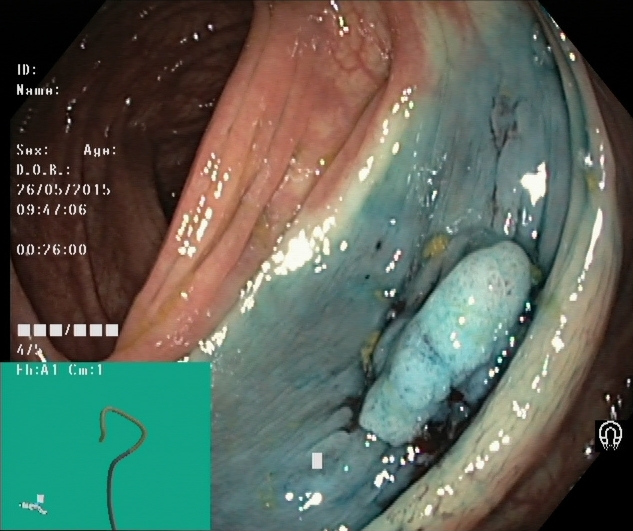Lower-GI endoscopy. Tract: lower GI tract. Finding: dyed and lifted polyp (pre-resection).